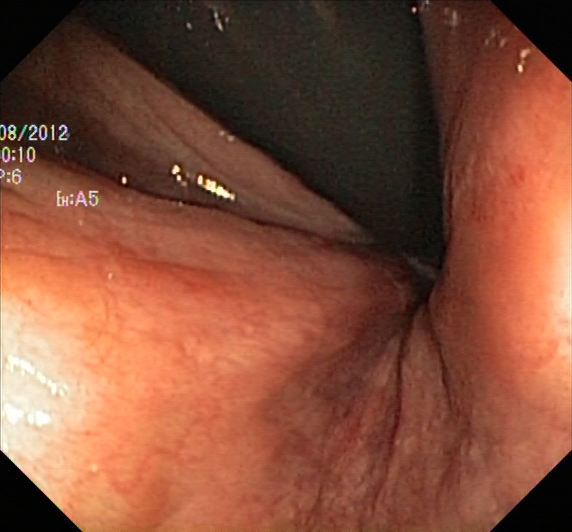Lower-GI endoscopy. Tract: lower GI tract. Anatomical landmark. Finding: rectum in retroflexion.